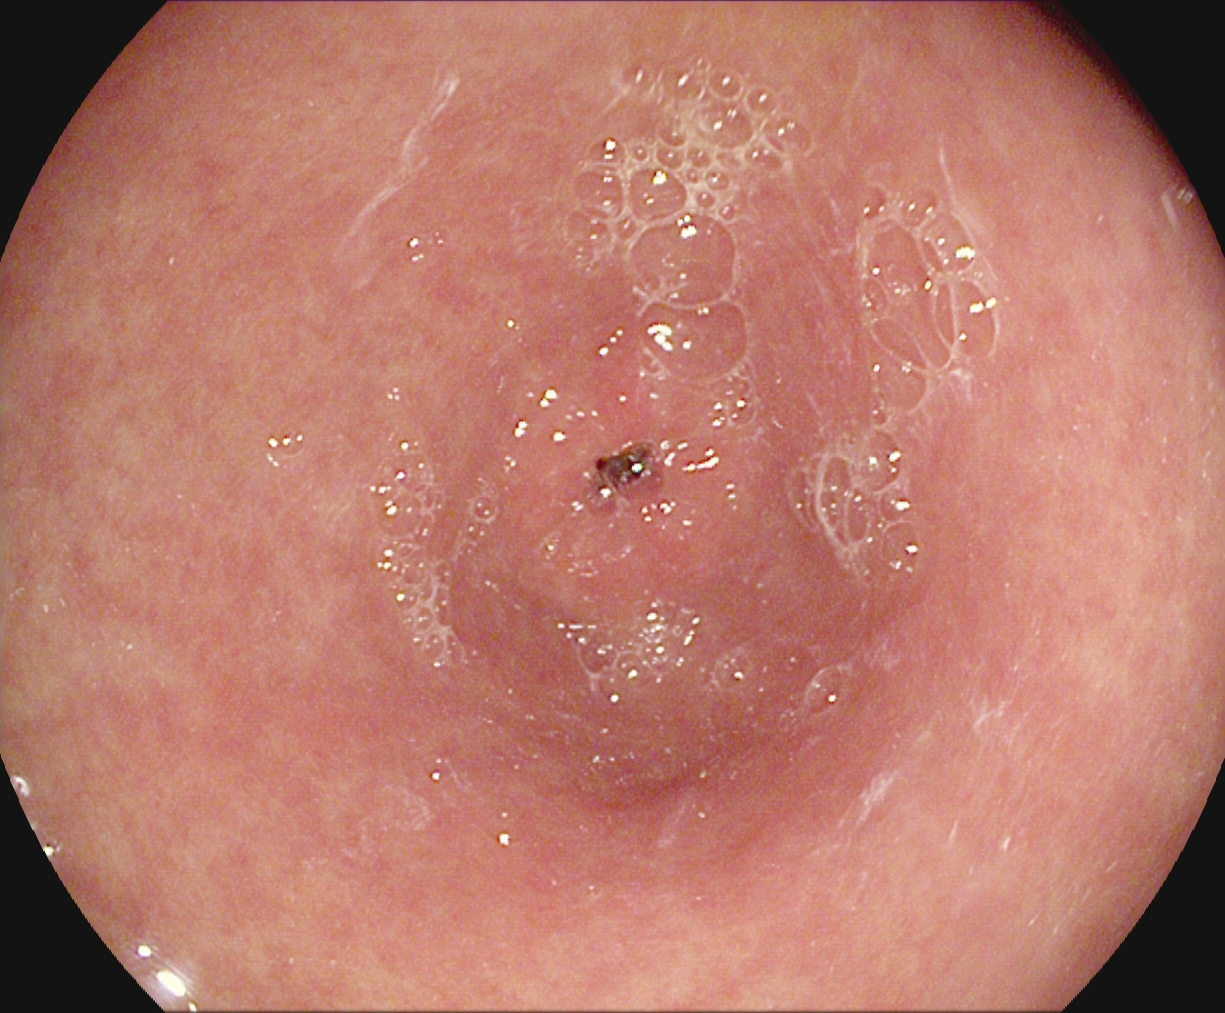Endoscopy image showing pylorus.